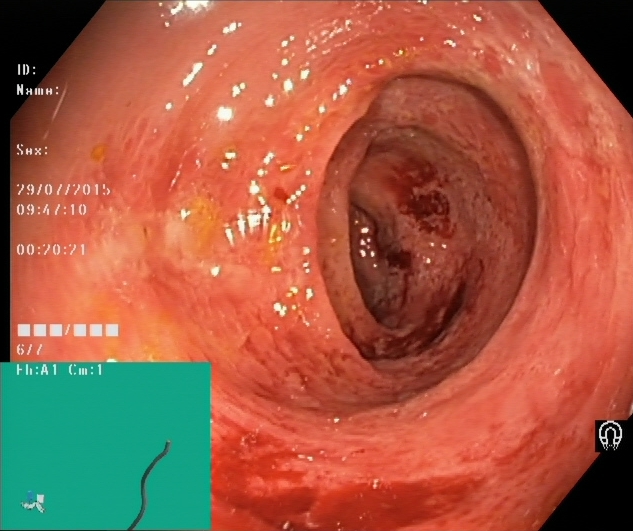{"modality": "lower-GI endoscopy", "finding": "UC, Mayo endoscopic subscore 2"}